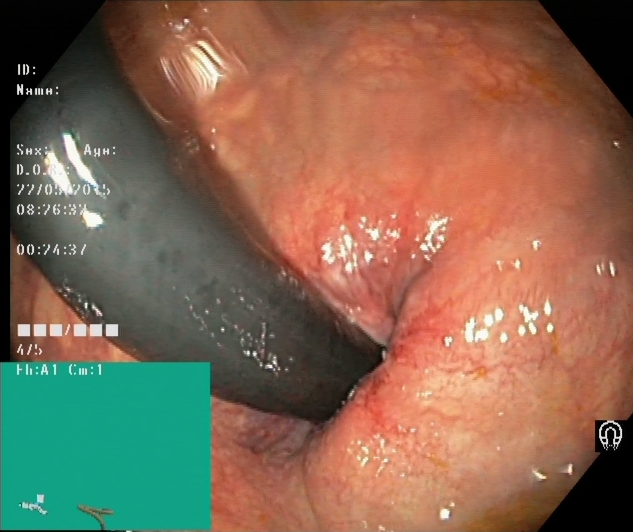Lower gastrointestinal endoscopy. Tract: lower GI tract. Finding: rectum in retroflexion.